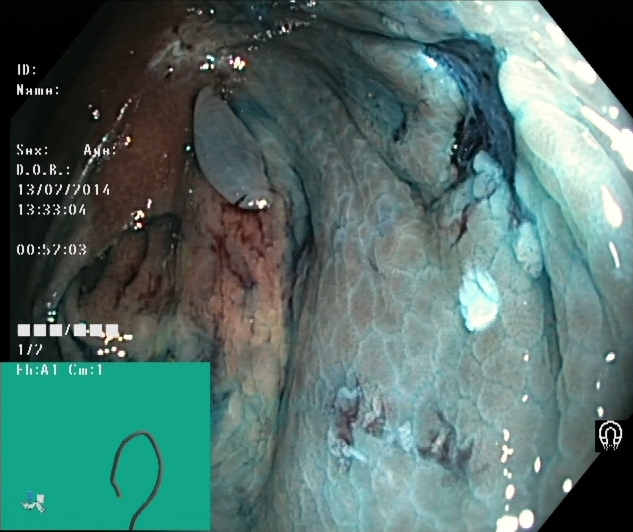Endoscopy image of the lower GI tract showing dyed resection margins (post-polypectomy).